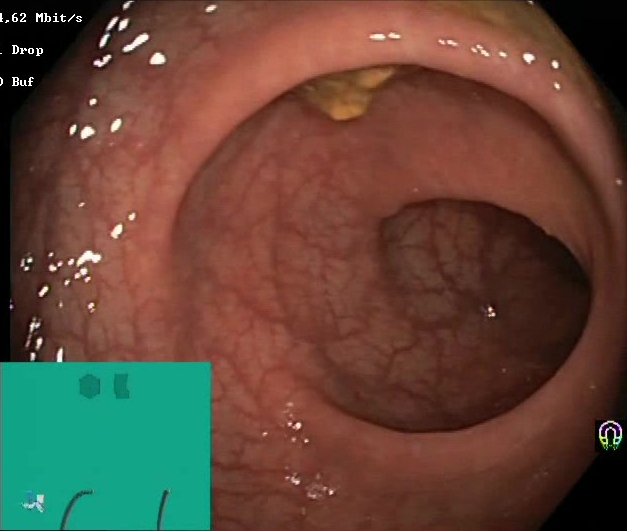Boston Bowel Preparation Scale score 2–3 (adequate preparation).